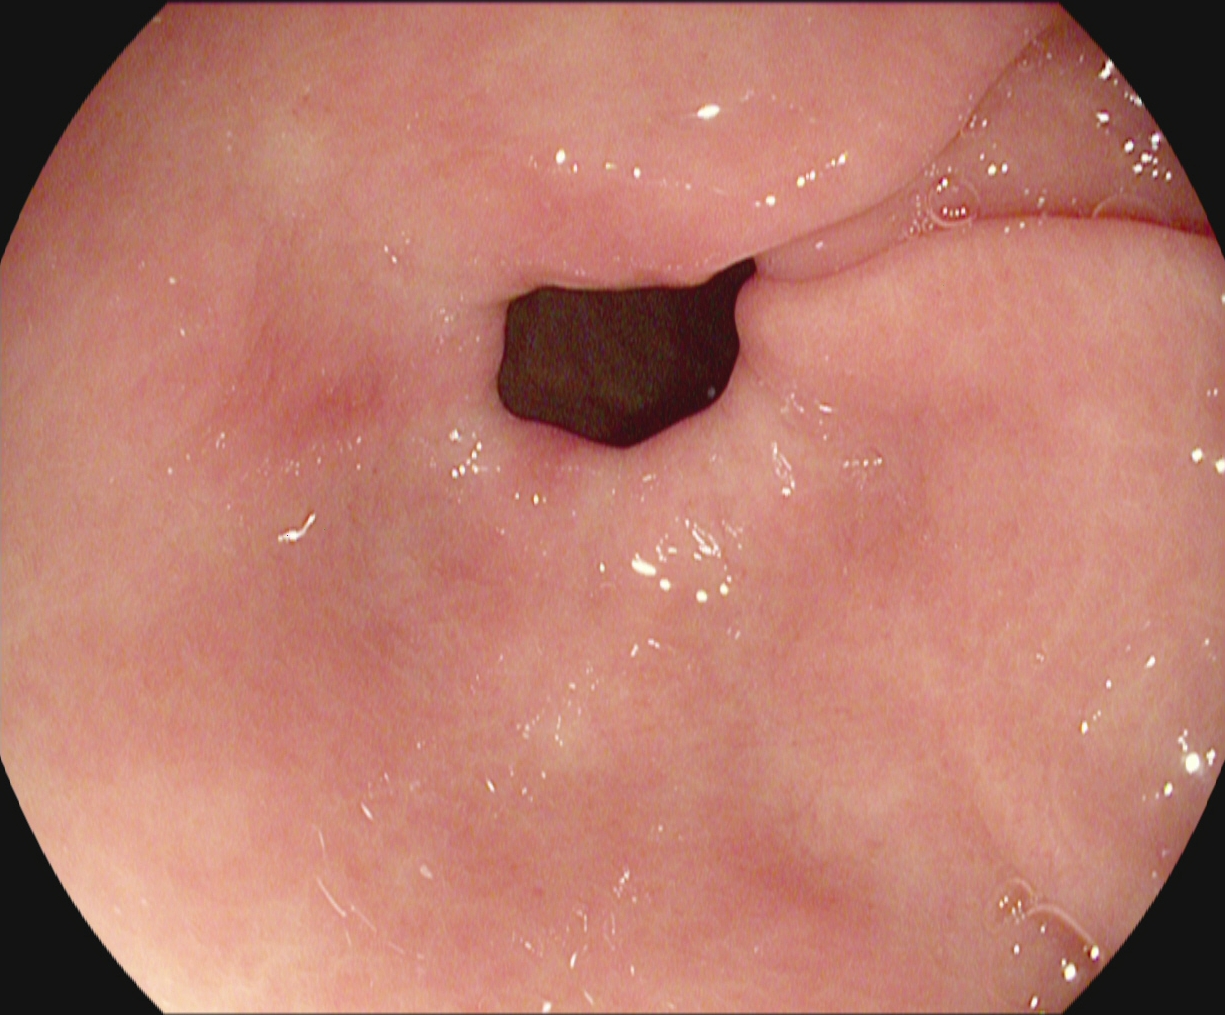Endoscopic frame showing pylorus.